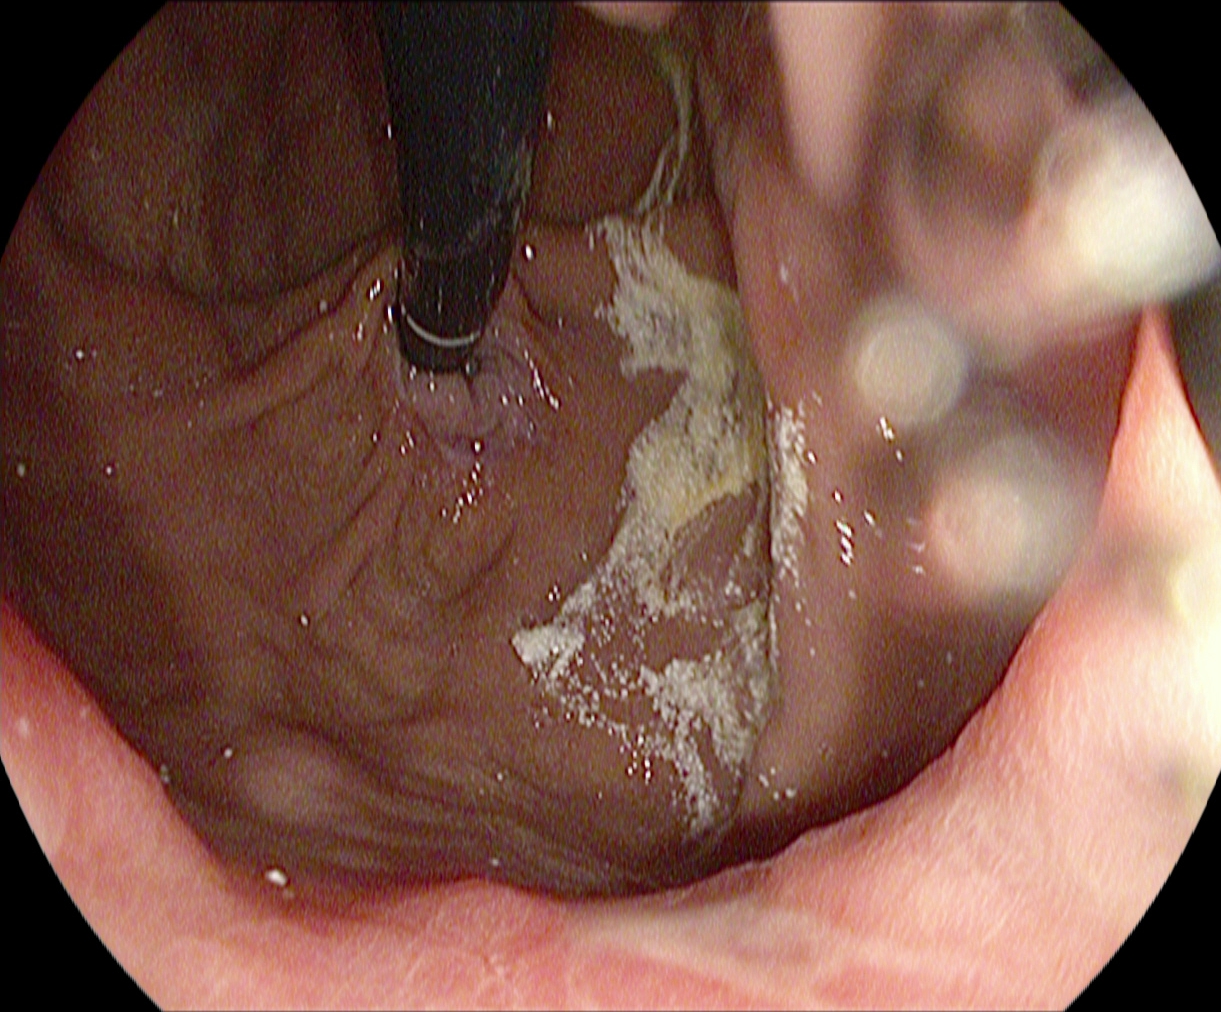This endoscopic image shows stomach in retroflexion.